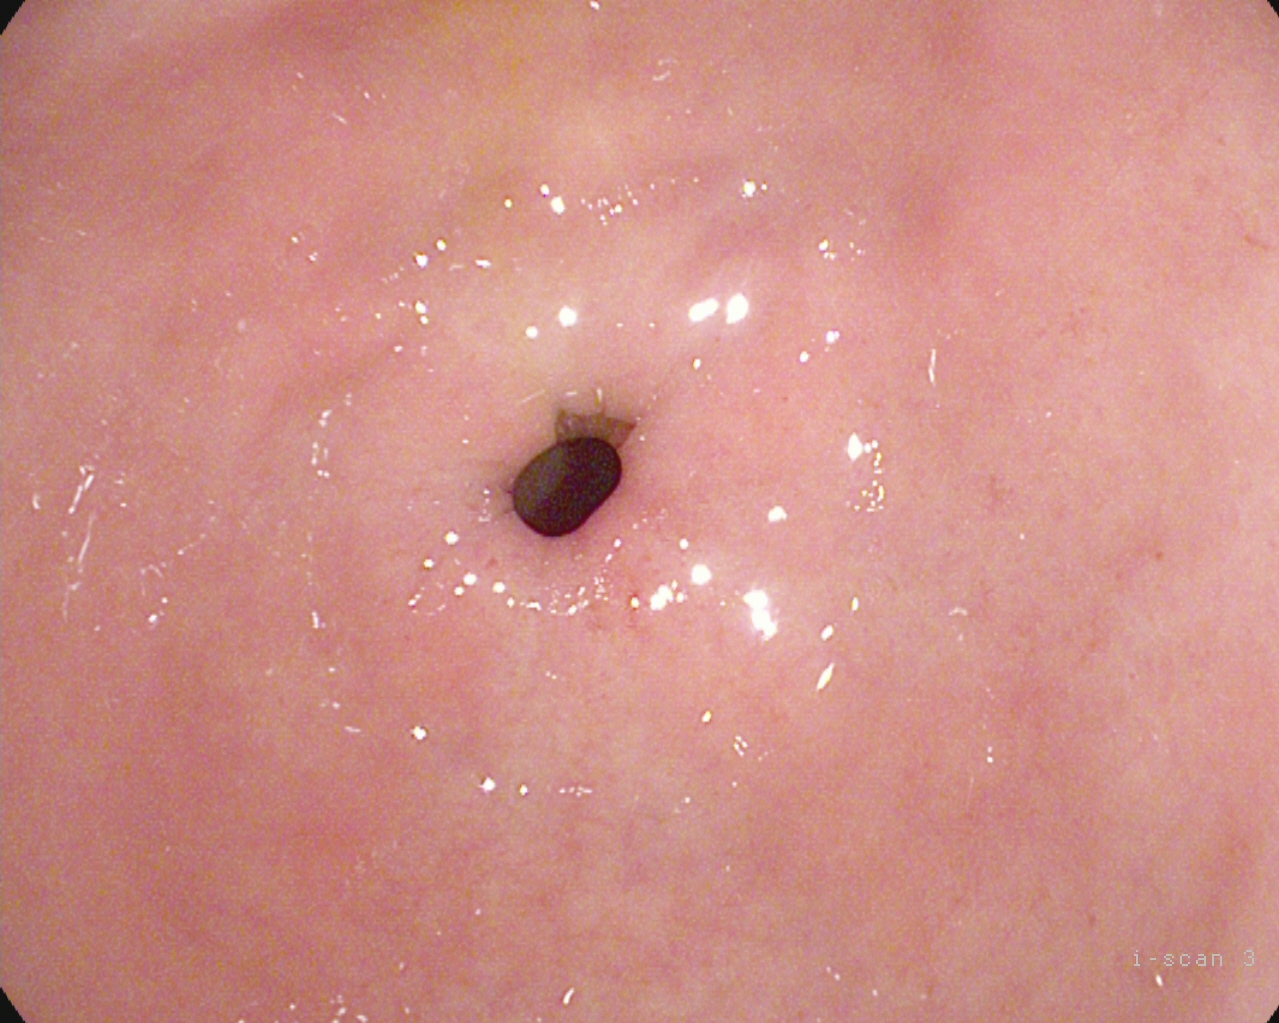Pylorus.